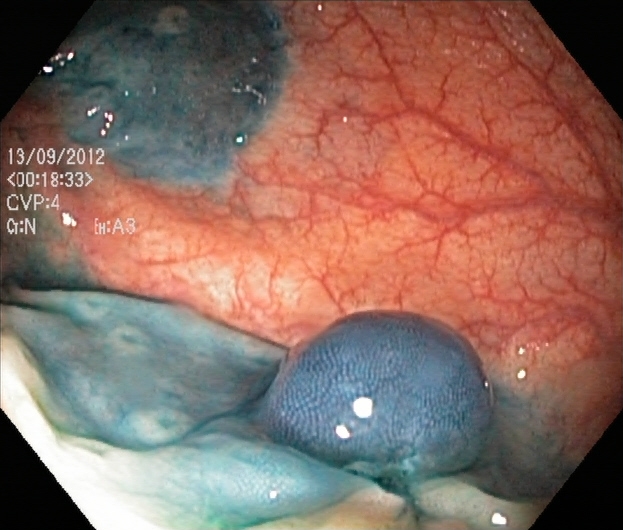Lower-GI endoscopy. Finding: dyed and lifted polyp (pre-resection).